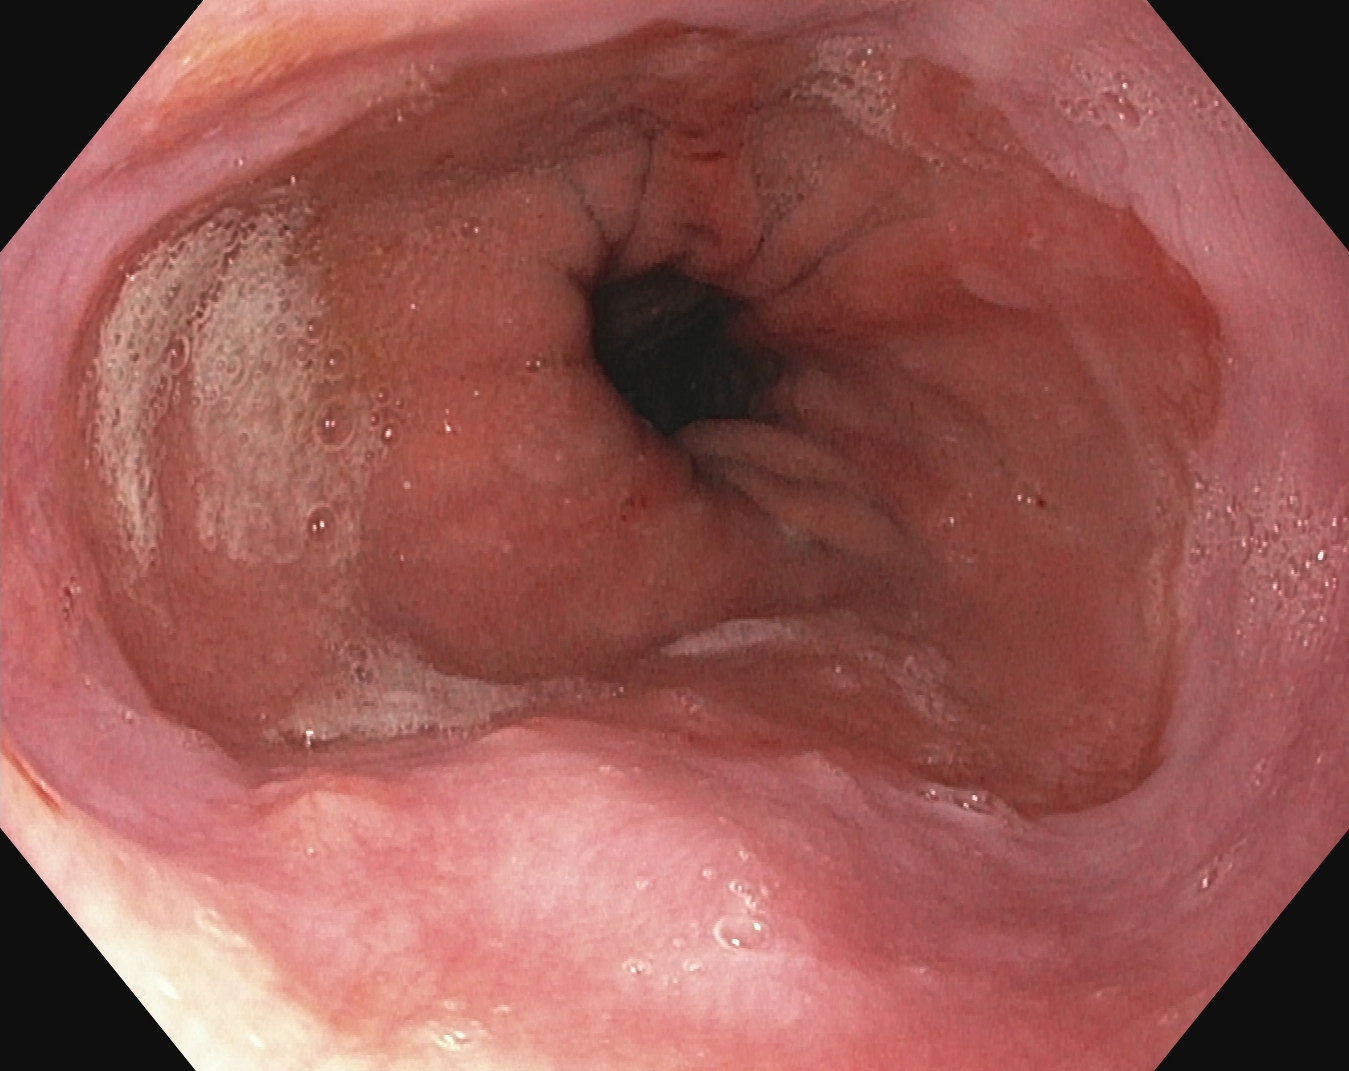Gastroscopy — Z-line (gastroesophageal junction).